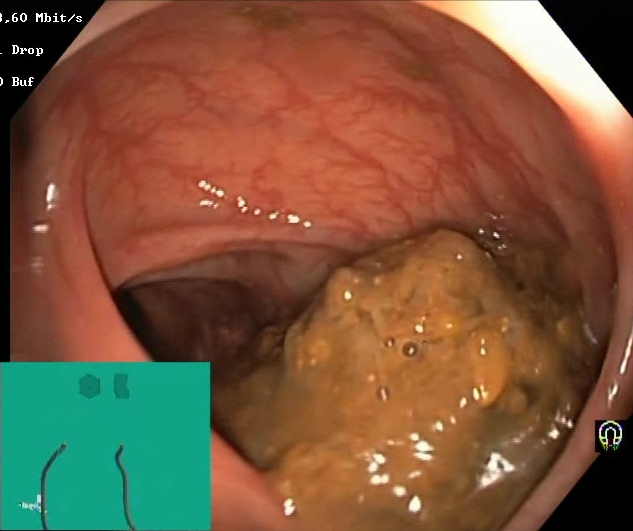BBPS score 0–1 (inadequate preparation).